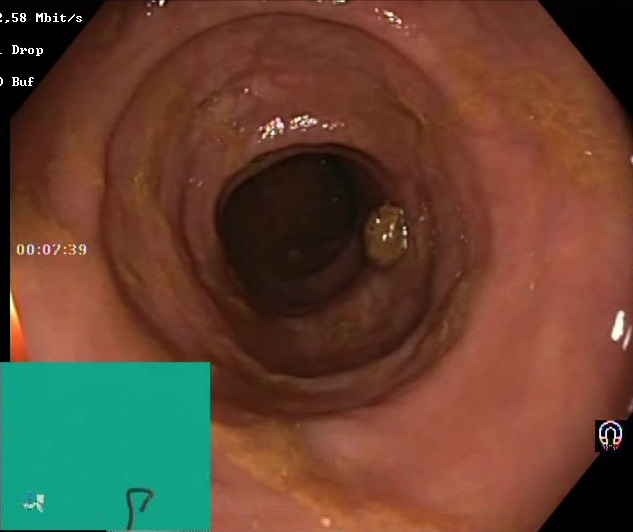modality: lower gastrointestinal endoscopy
tract: lower GI tract
category: mucosal-view quality
finding: Boston Bowel Preparation Scale score 2–3 (adequate preparation)